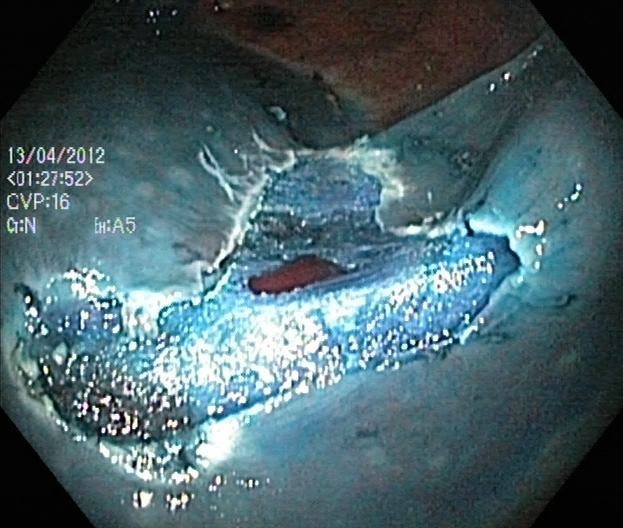This endoscopic image of the lower GI tract shows dyed resection margins (post-polypectomy).